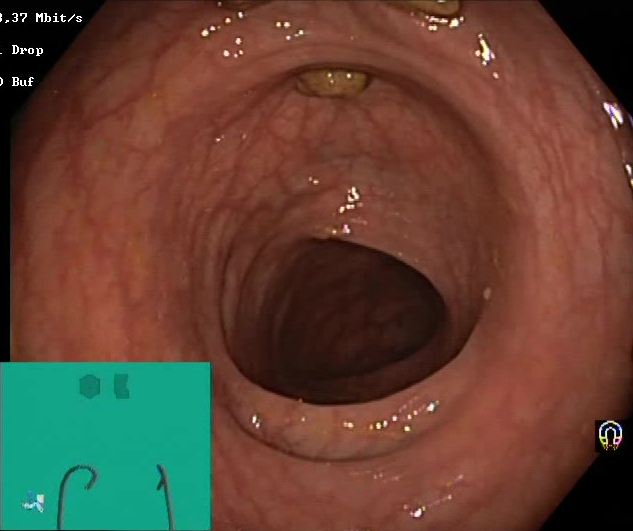Lower-GI endoscopy — Boston Bowel Preparation Scale score 2–3 (adequate preparation).